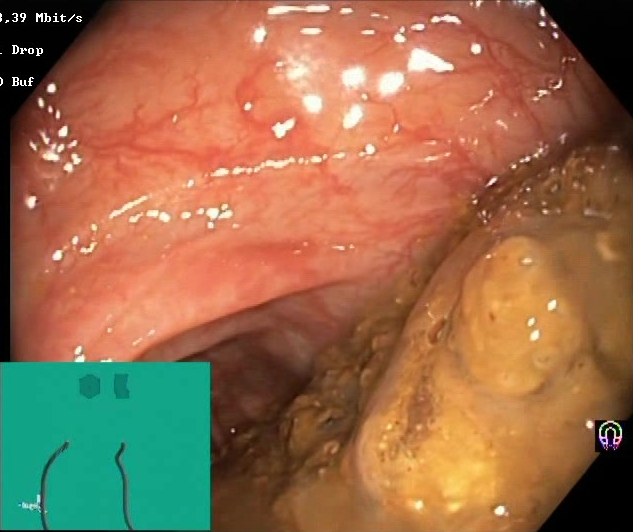Lower gastrointestinal endoscopy. Tract: lower GI tract. Mucosal-view quality. Finding: Boston Bowel Preparation Scale score 0–1 (inadequate preparation).